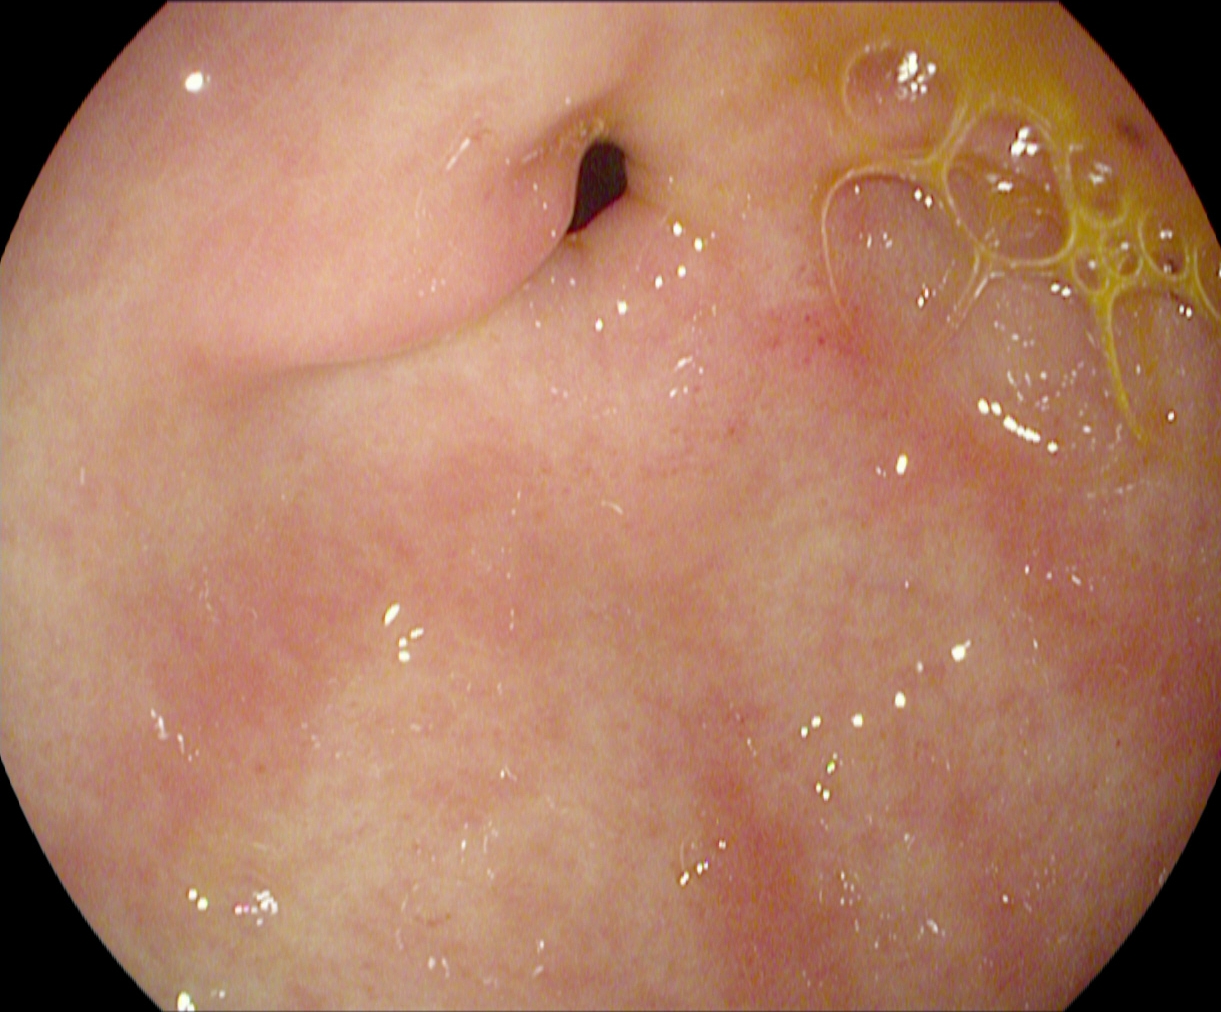Endoscopic image showing pylorus.